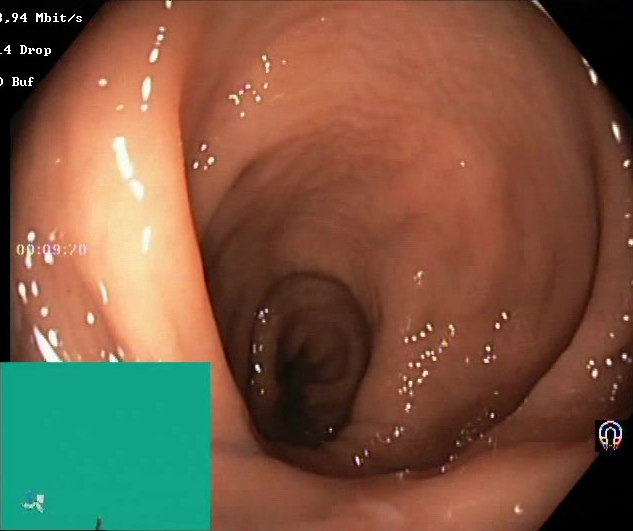Gastrointestinal endoscopy image showing Boston Bowel Preparation Scale score 2–3 (adequate preparation).